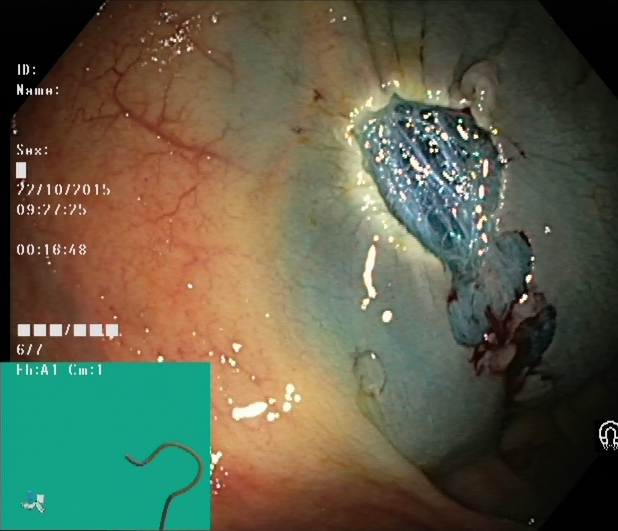{"modality": "lower-GI endoscopy", "tract": "lower GI tract", "category": "therapeutic intervention", "finding": "dyed resection margins (post-polypectomy)"}